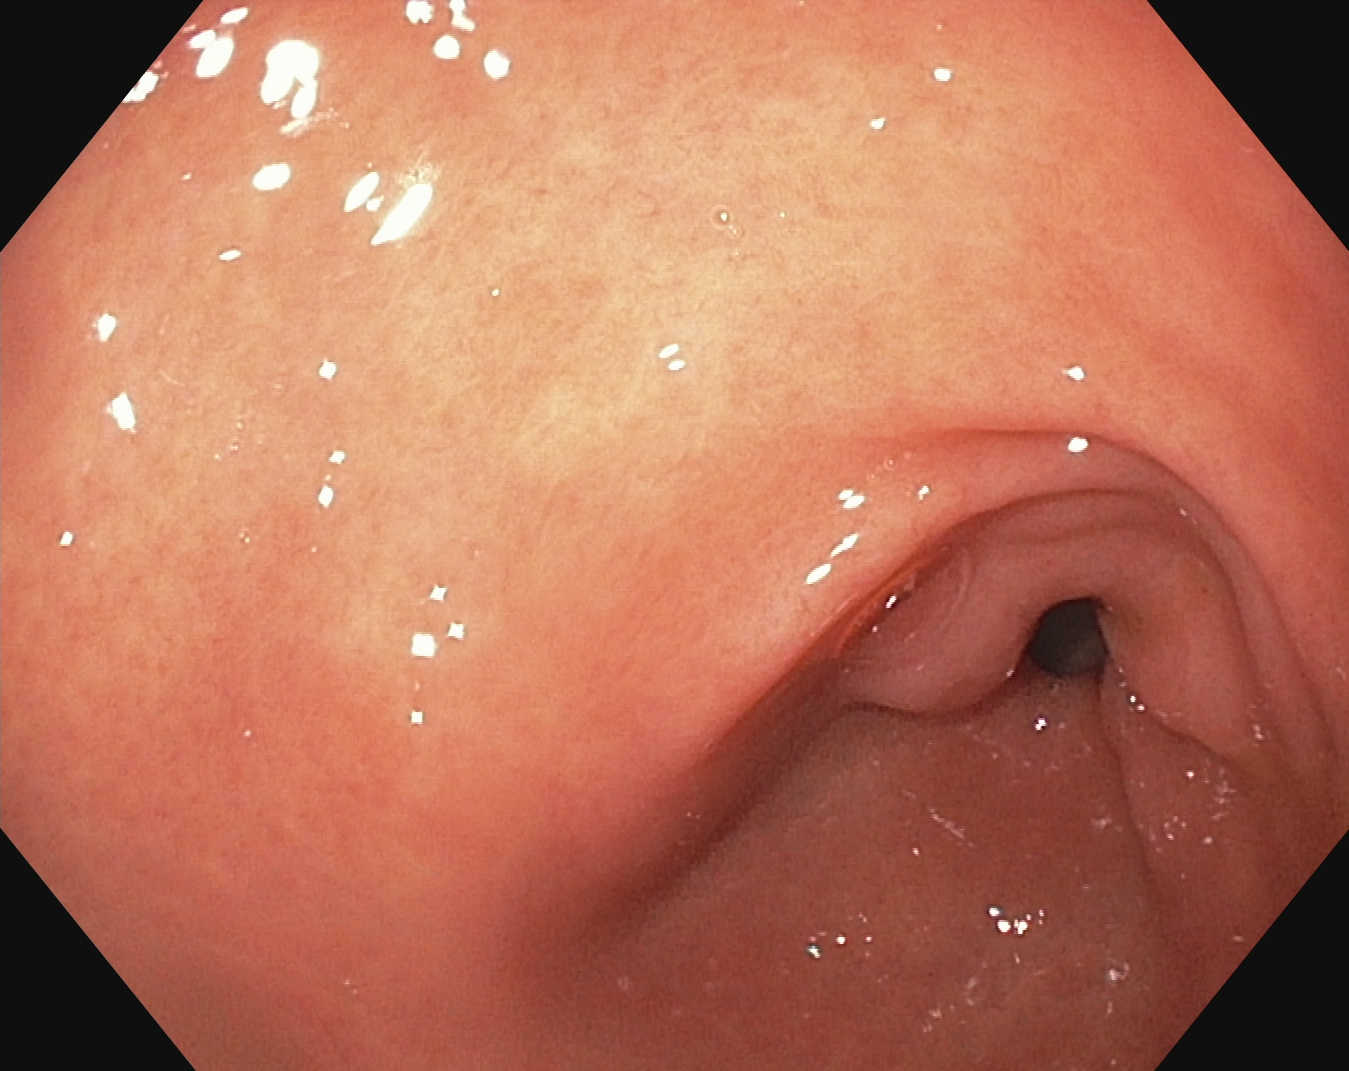modality: esophagogastroduodenoscopy
finding: pylorus